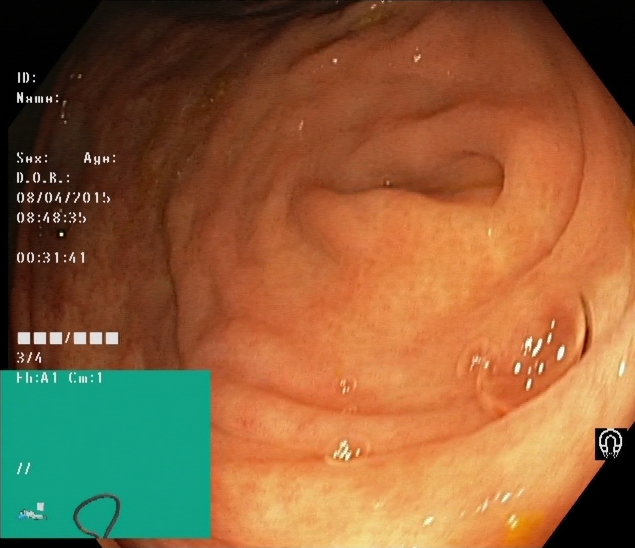Lower-GI endoscopy — cecum.